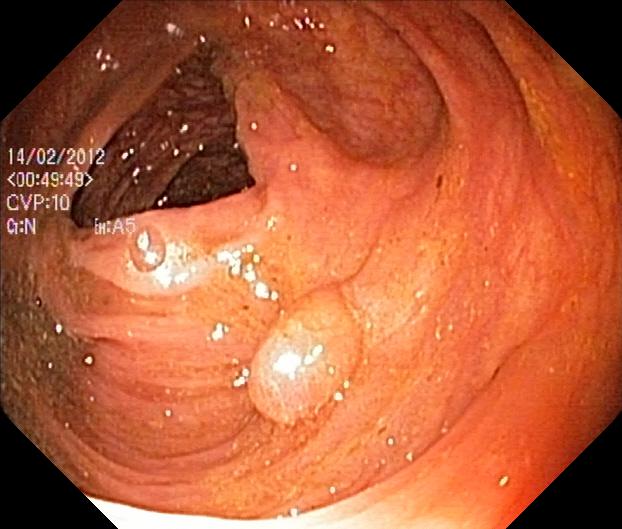GI endoscopy image of the lower GI tract showing colorectal polyp(s).